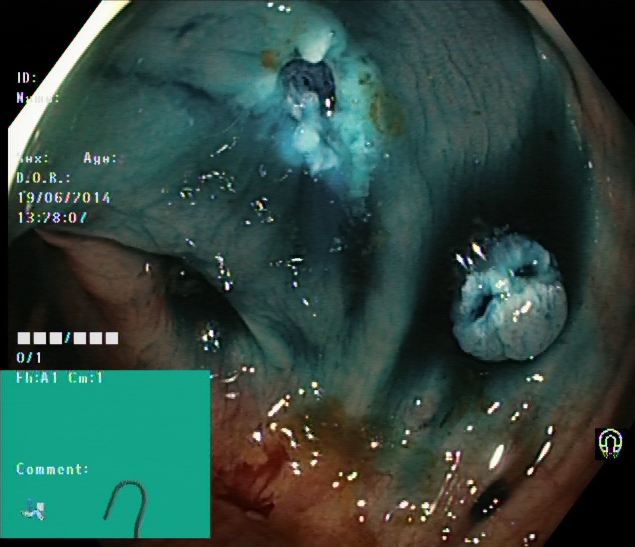Dyed resection margins (post-polypectomy).